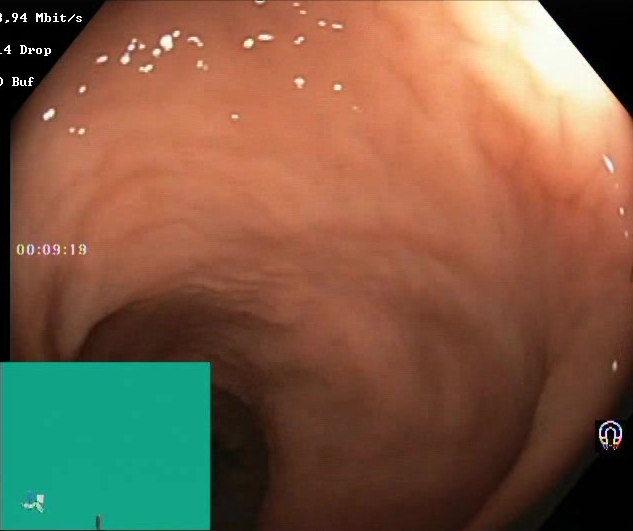BBPS score 2–3 (adequate preparation).